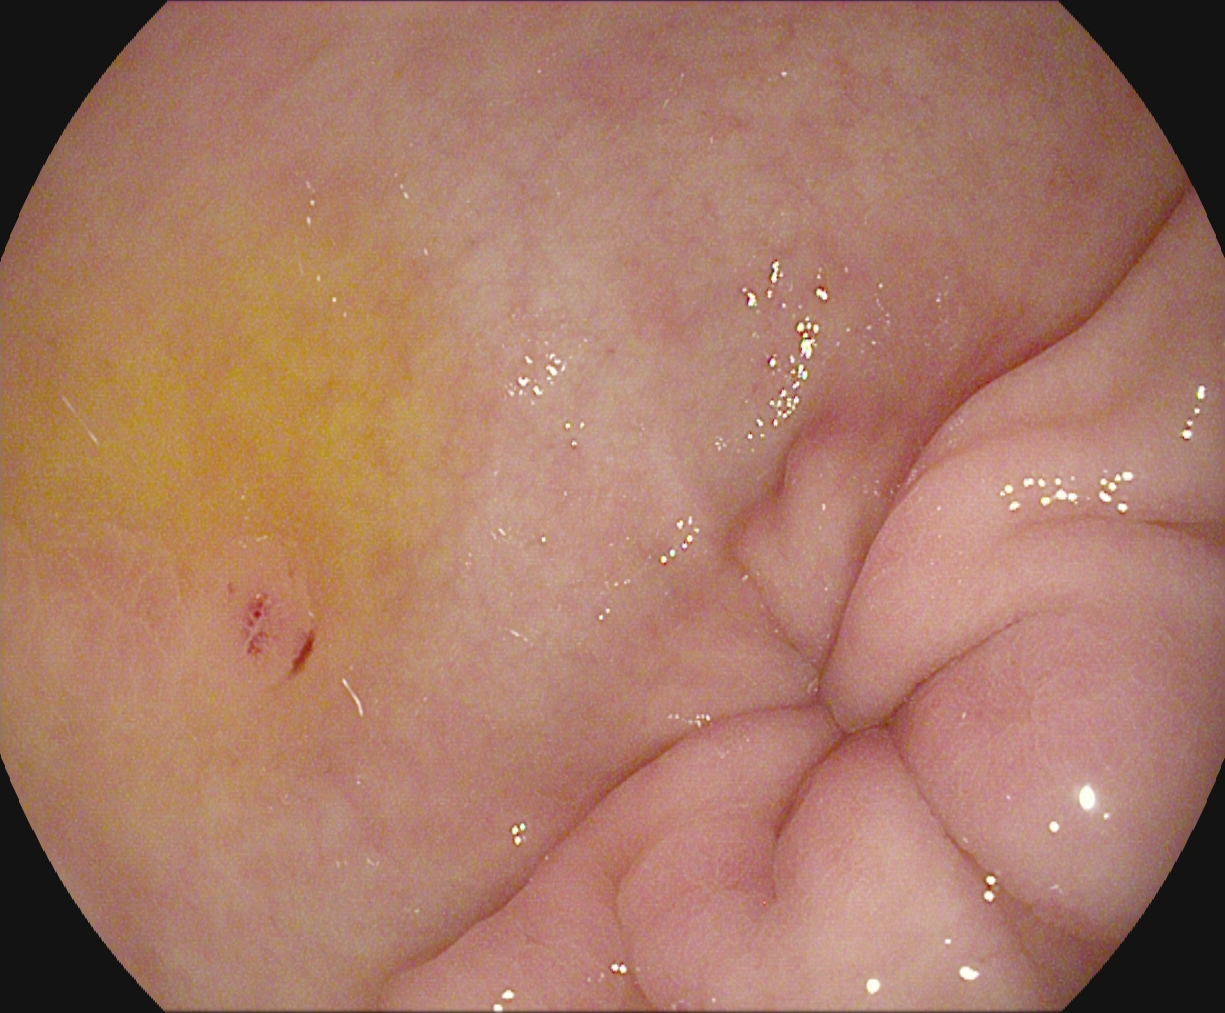Pylorus.